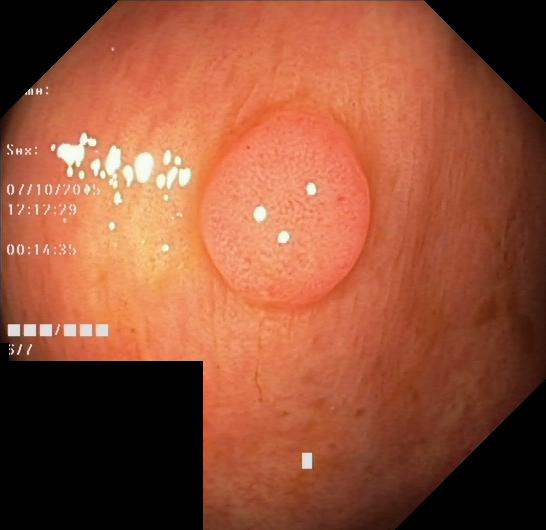Lower gastrointestinal endoscopy. Tract: lower GI tract. Pathological finding. Finding: colorectal polyp(s).